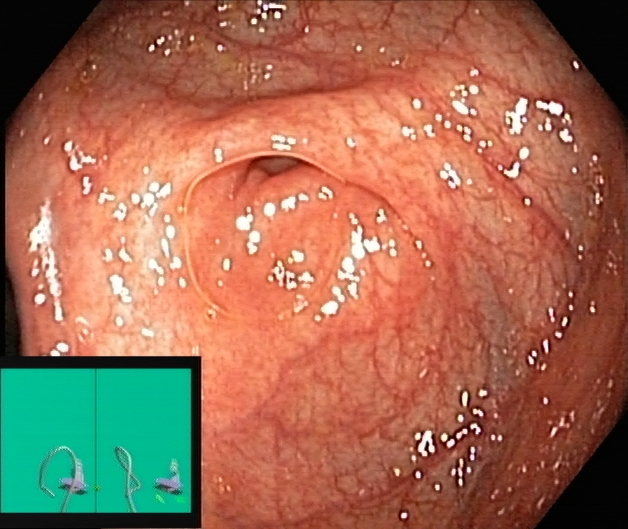Lower-GI endoscopy image of the lower GI tract showing cecum.